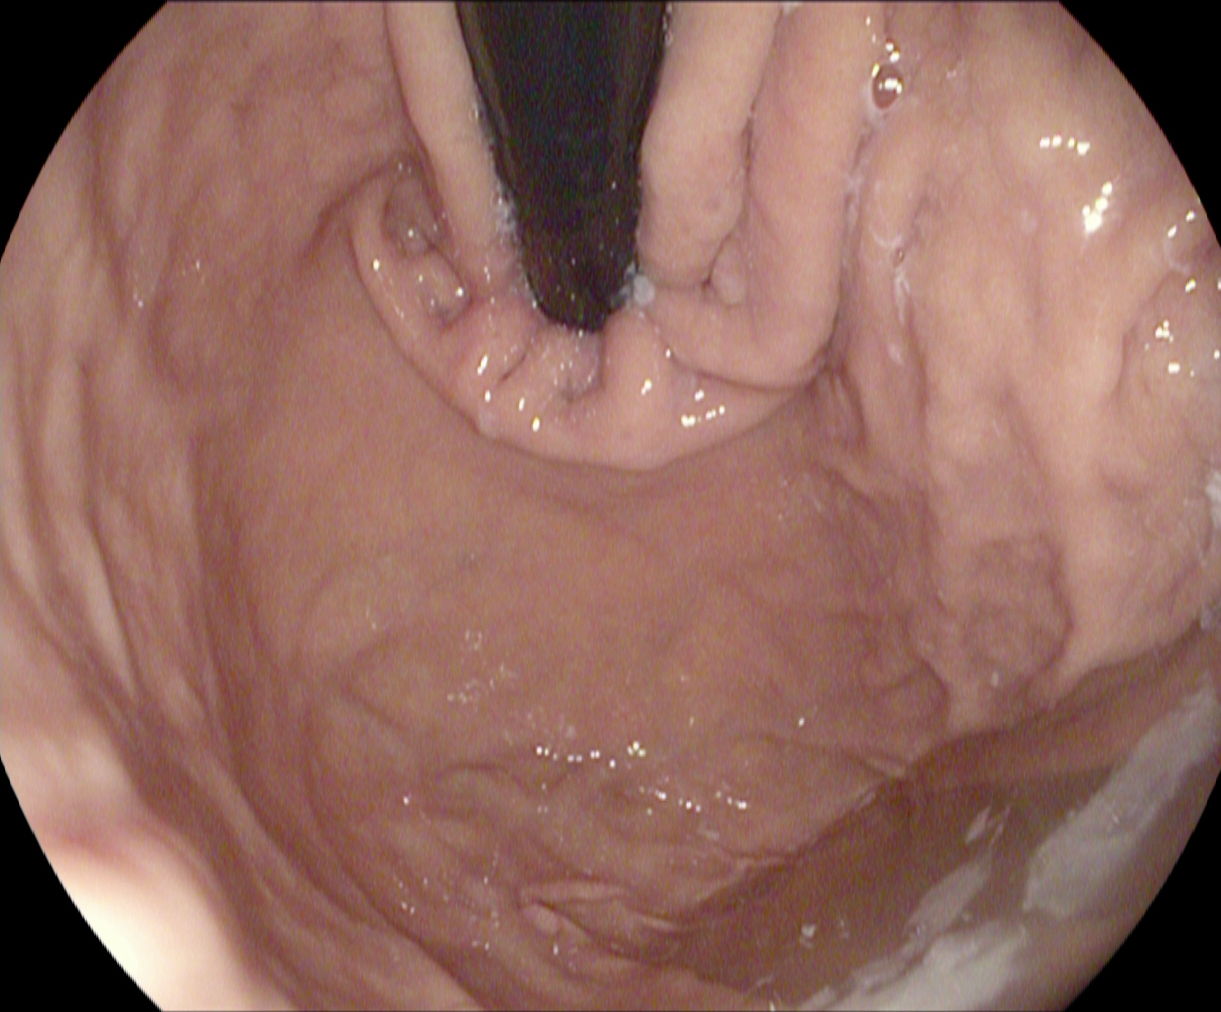Stomach in retroflexion.